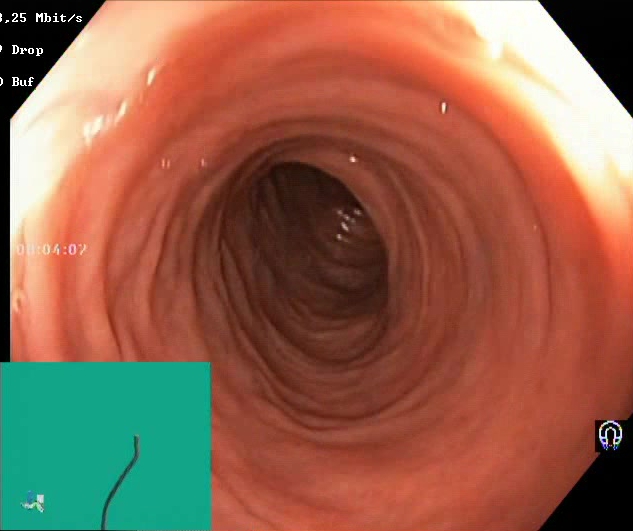{"modality": "lower-GI endoscopy", "tract": "lower GI tract", "finding": "Boston Bowel Preparation Scale score 2\u20133 (adequate preparation)"}